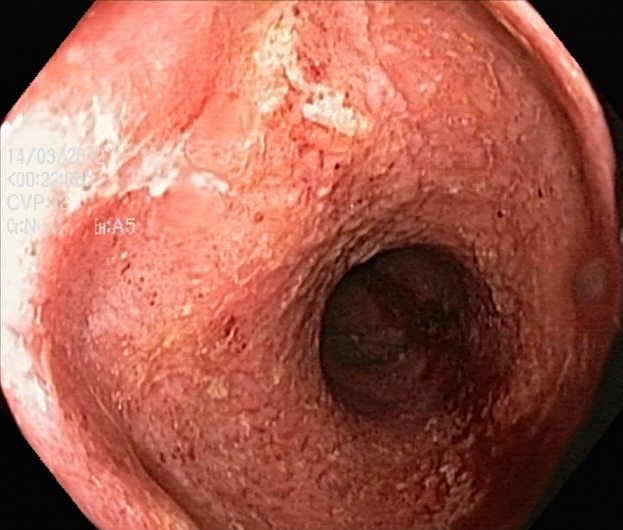{"modality": "lower-GI endoscopy", "finding": "ulcerative colitis, Mayo endoscopic subscore 2"}